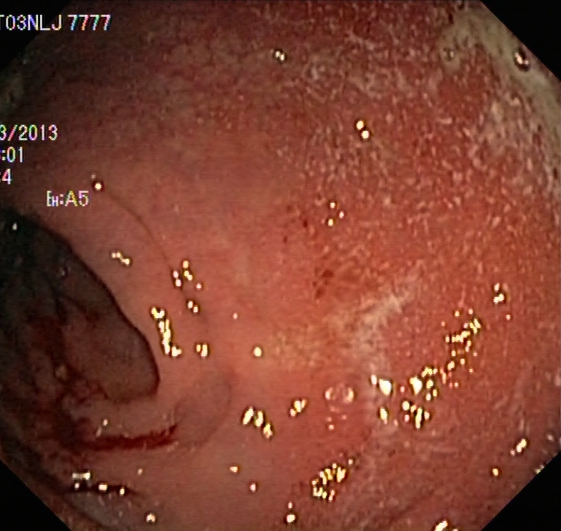This endoscopy frame shows UC, Mayo endoscopic subscore 1–2.